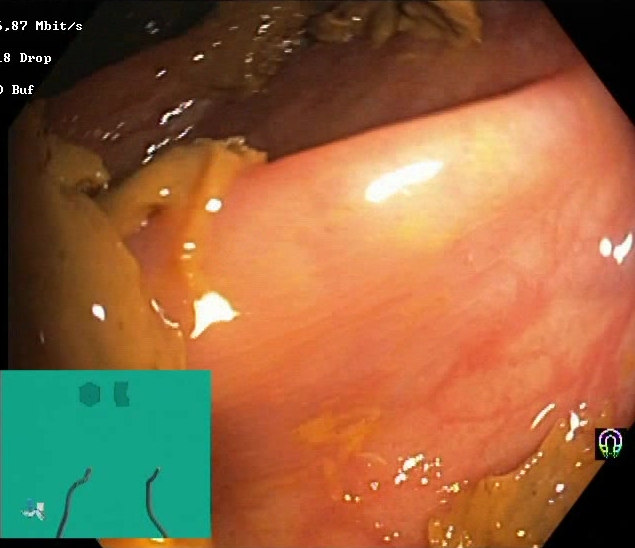Endoscopic frame showing Boston Bowel Preparation Scale score 0–1 (inadequate preparation).